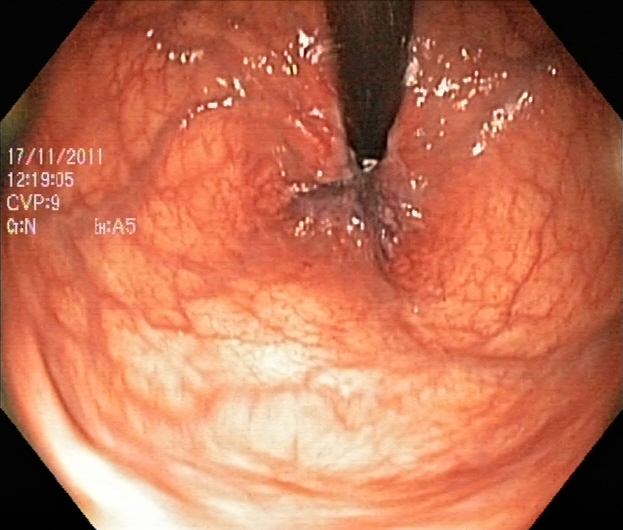{"modality": "lower gastrointestinal endoscopy", "tract": "lower GI tract", "finding": "rectum in retroflexion"}